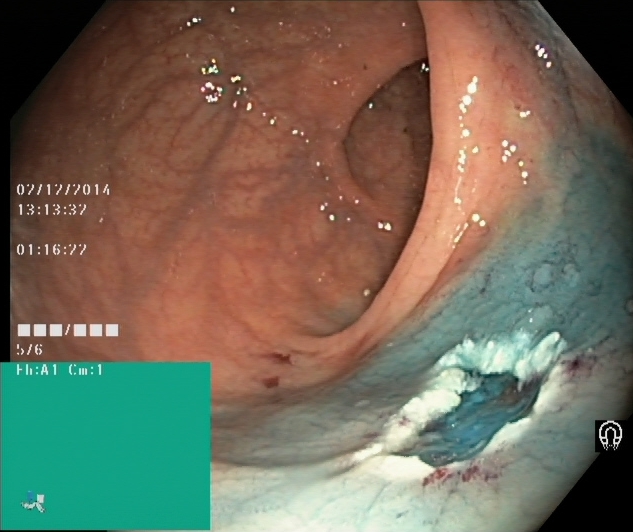PROCEDURE: Colonoscopy.
CATEGORY: Therapeutic intervention.
FINDINGS: Dyed resection margins (post-polypectomy).